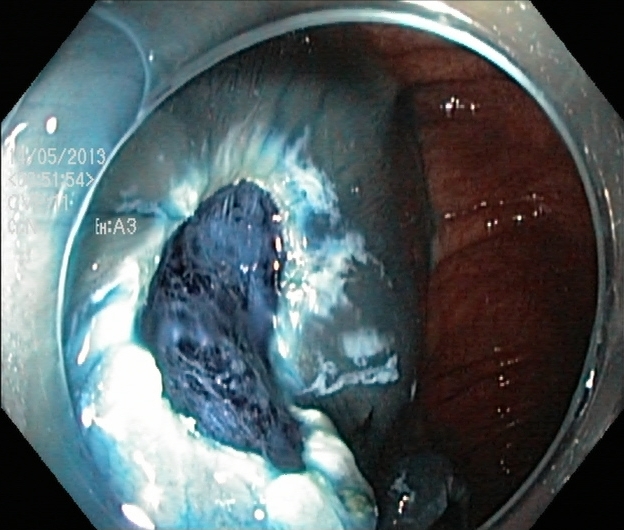This endoscopy frame shows dyed resection margins (post-polypectomy).